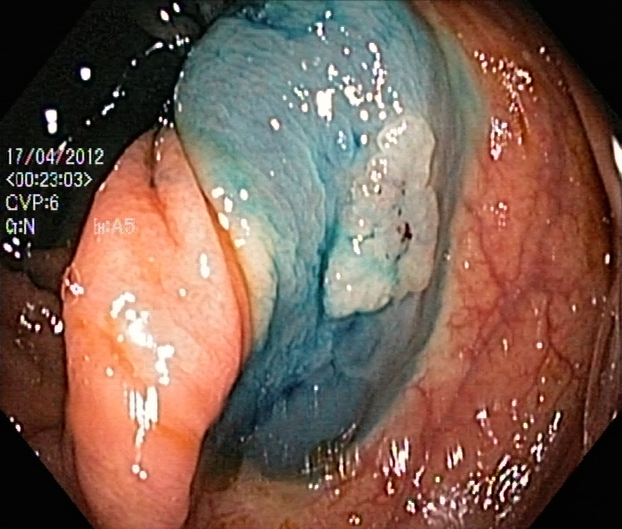Dyed and lifted polyp (pre-resection).